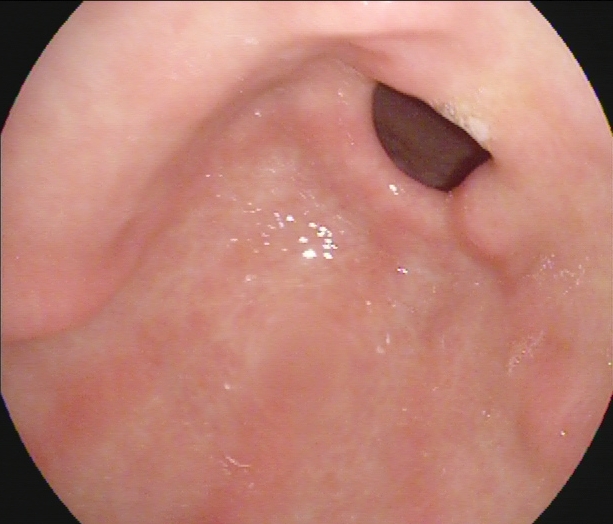Upper-GI endoscopy. Tract: upper GI tract. Finding: pylorus.